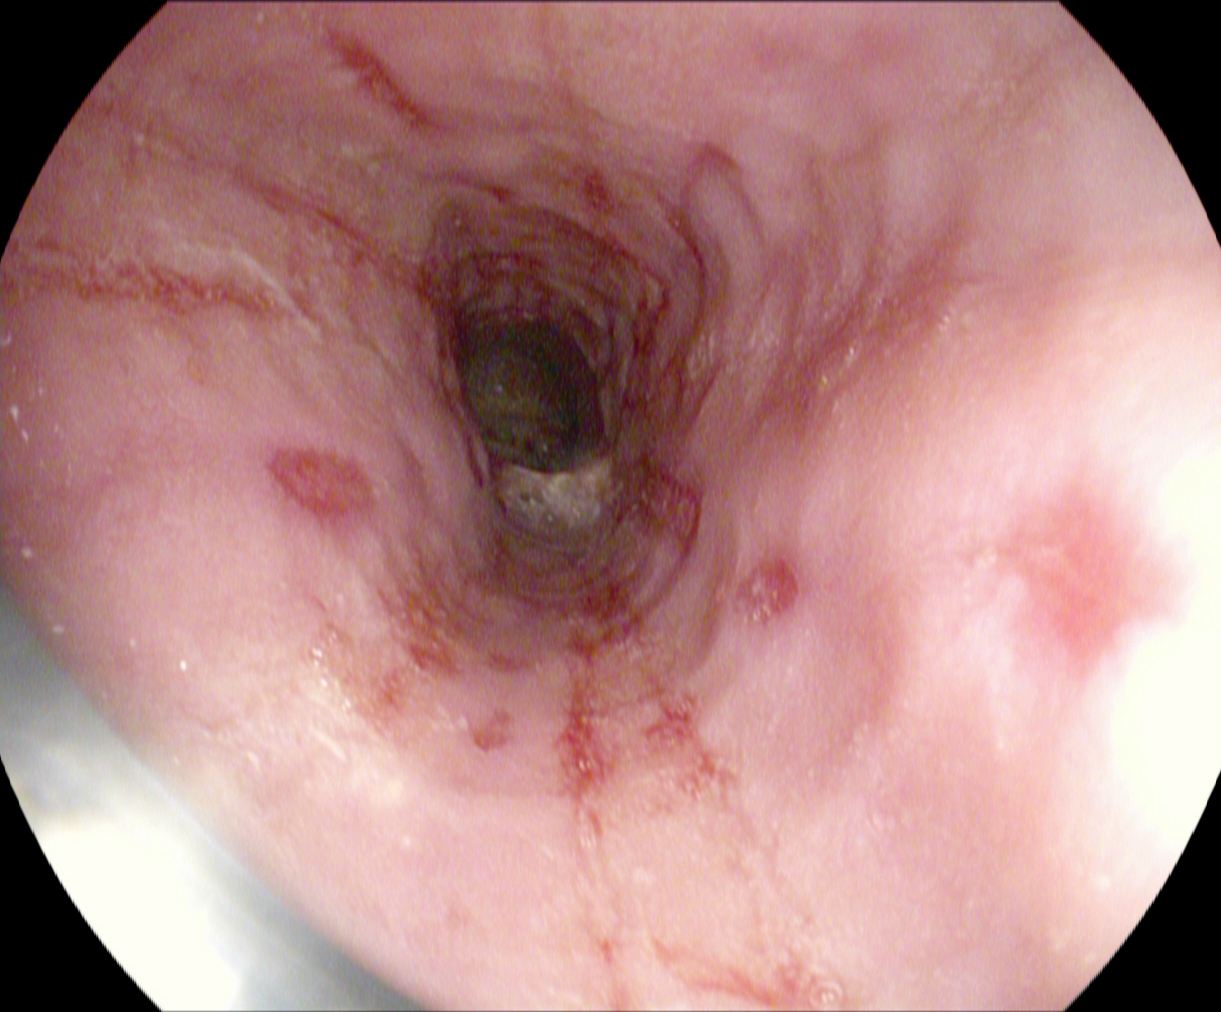PROCEDURE: Upper-GI endoscopy.
CATEGORY: Pathological finding.
FINDINGS: Reflux esophagitis, Los Angeles grade B–D.